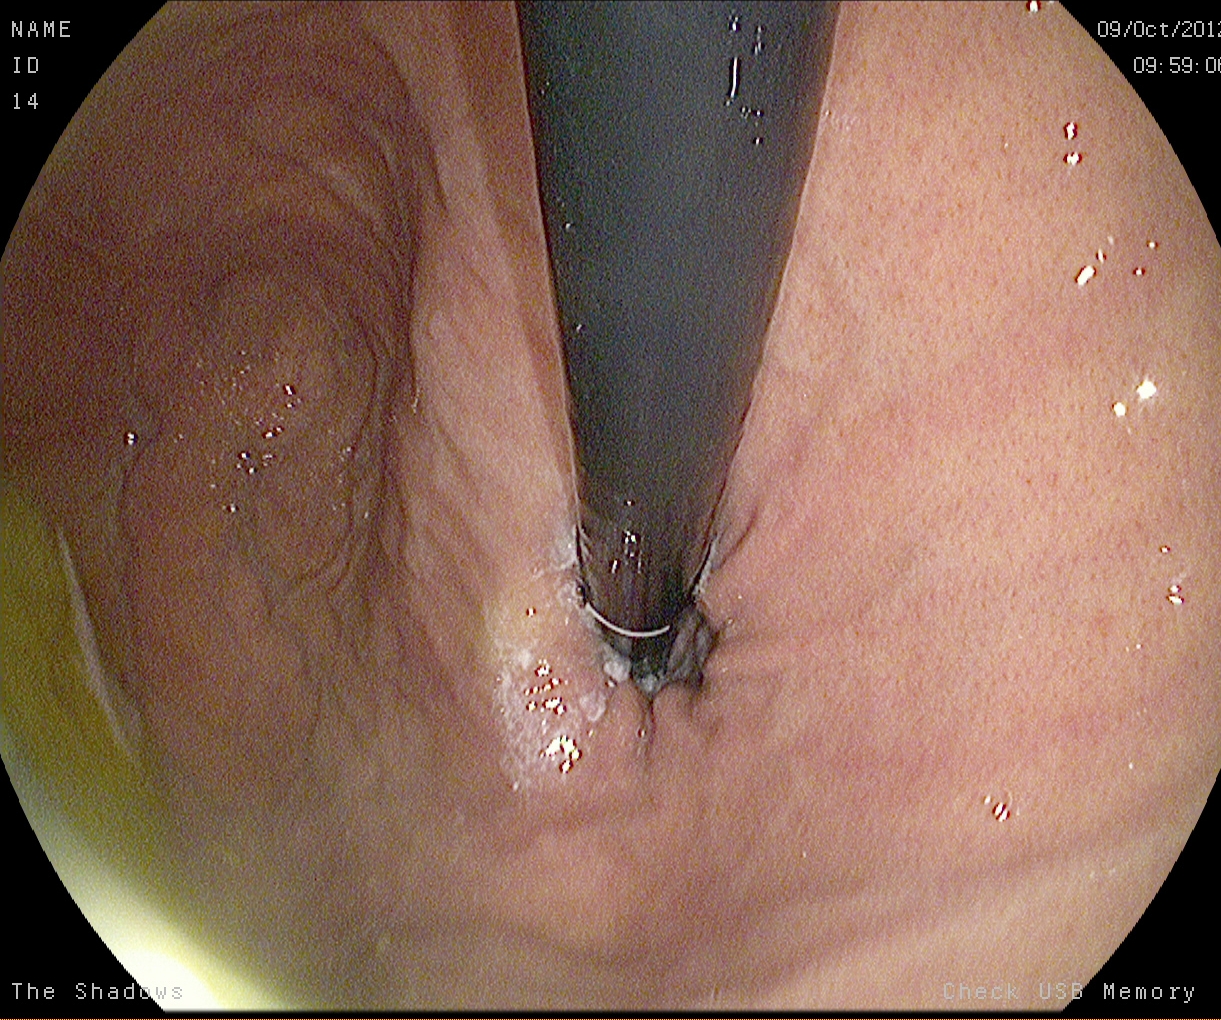PROCEDURE: Upper-GI endoscopy.
FINDINGS: Stomach in retroflexion.